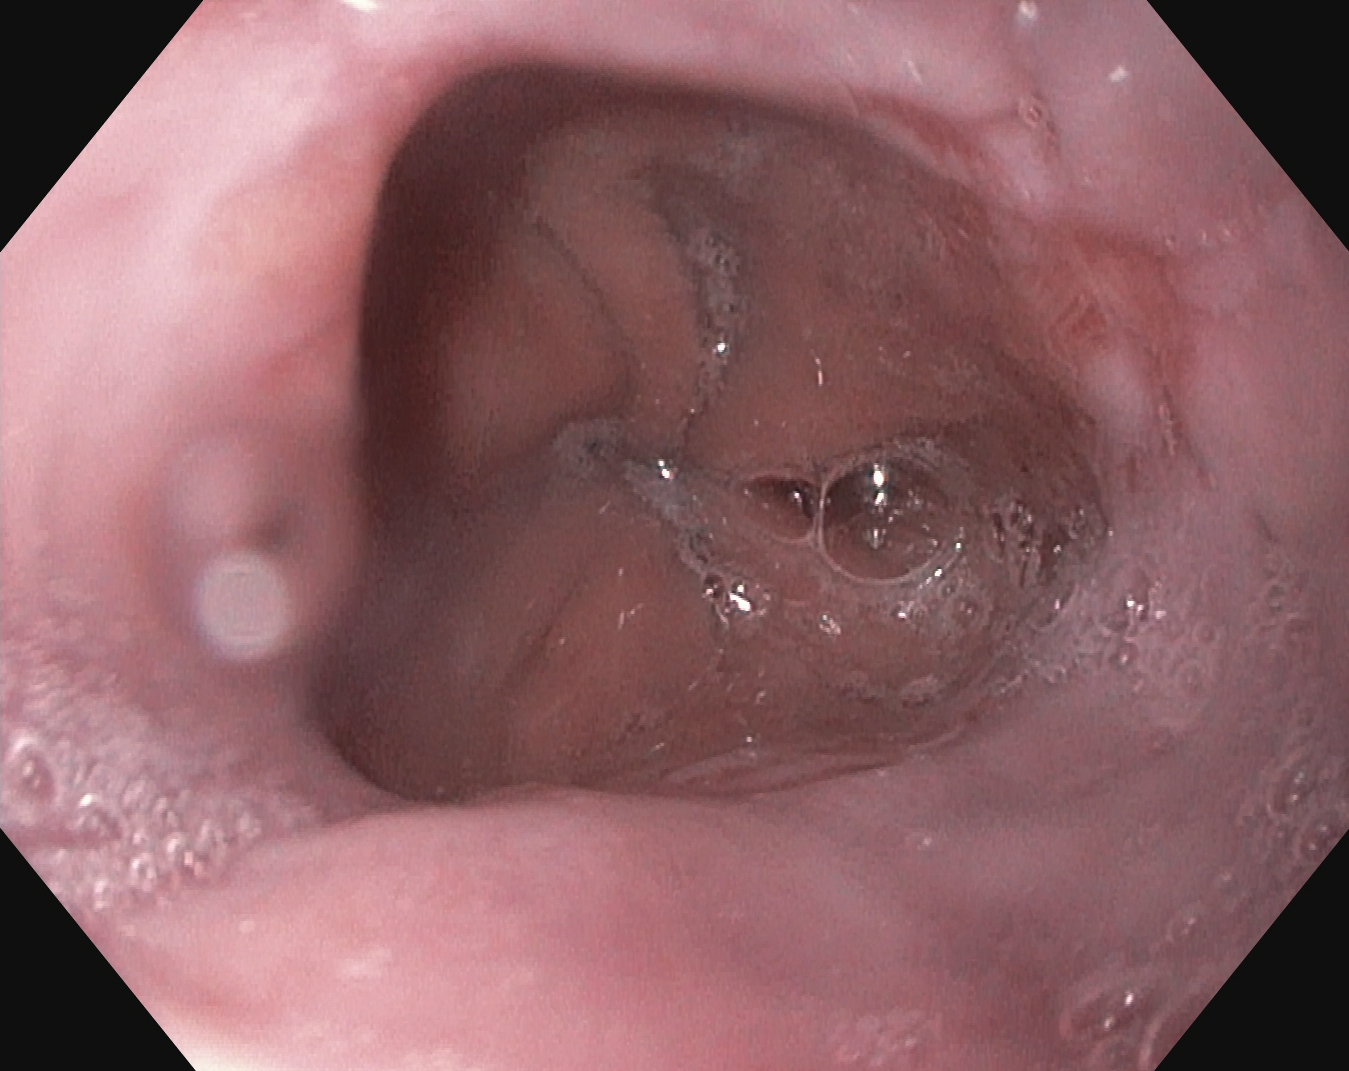{"modality": "EGD", "finding": "reflux esophagitis, Los Angeles grade B\u2013D"}